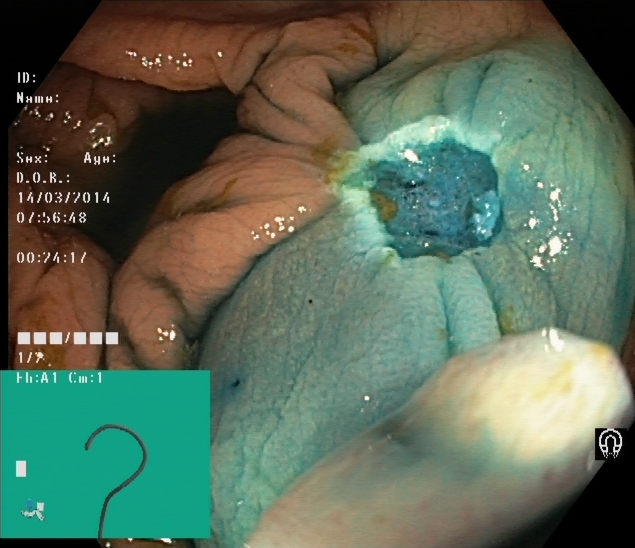Dyed resection margins (post-polypectomy).